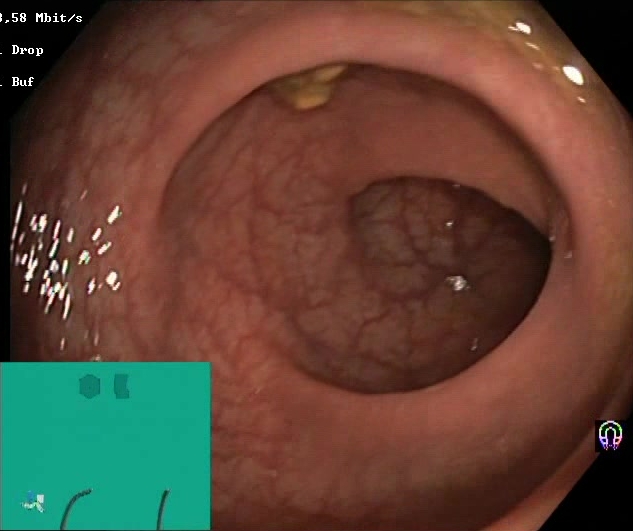PROCEDURE: Colonoscopy.
FINDINGS: Boston Bowel Preparation Scale score 2–3 (adequate preparation).